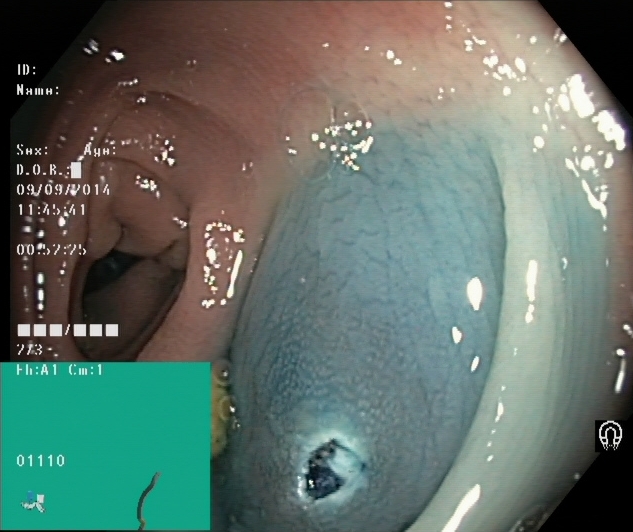Dyed resection margins (post-polypectomy).